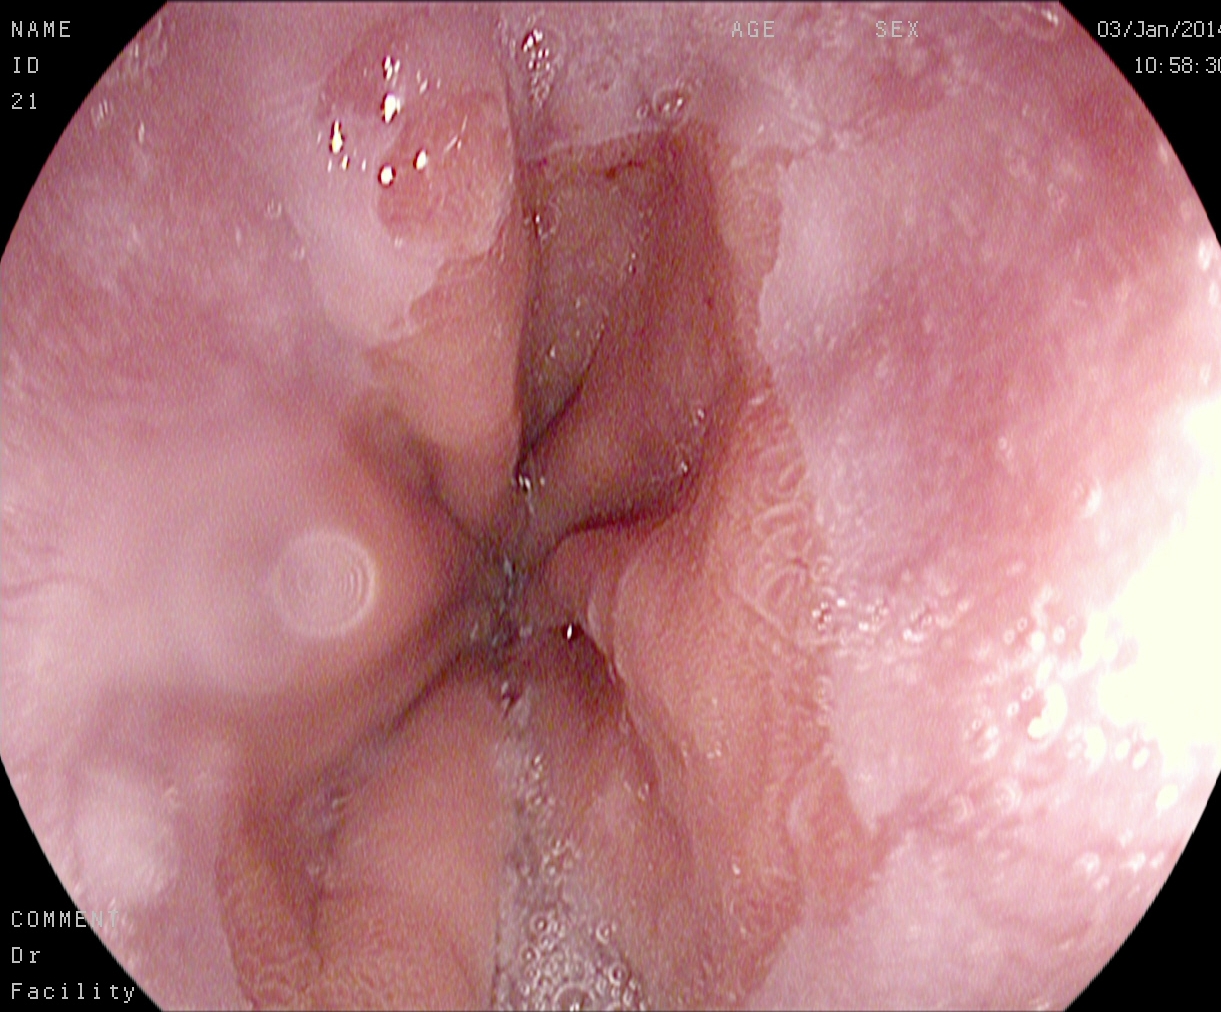Z-line (gastroesophageal junction).